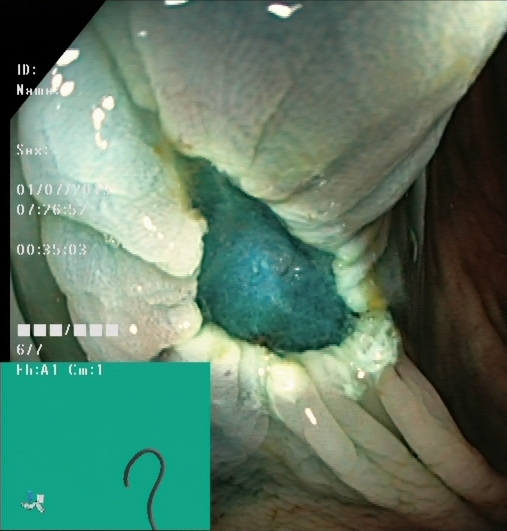Colonoscopy. Therapeutic intervention. Finding: dyed resection margins (post-polypectomy).